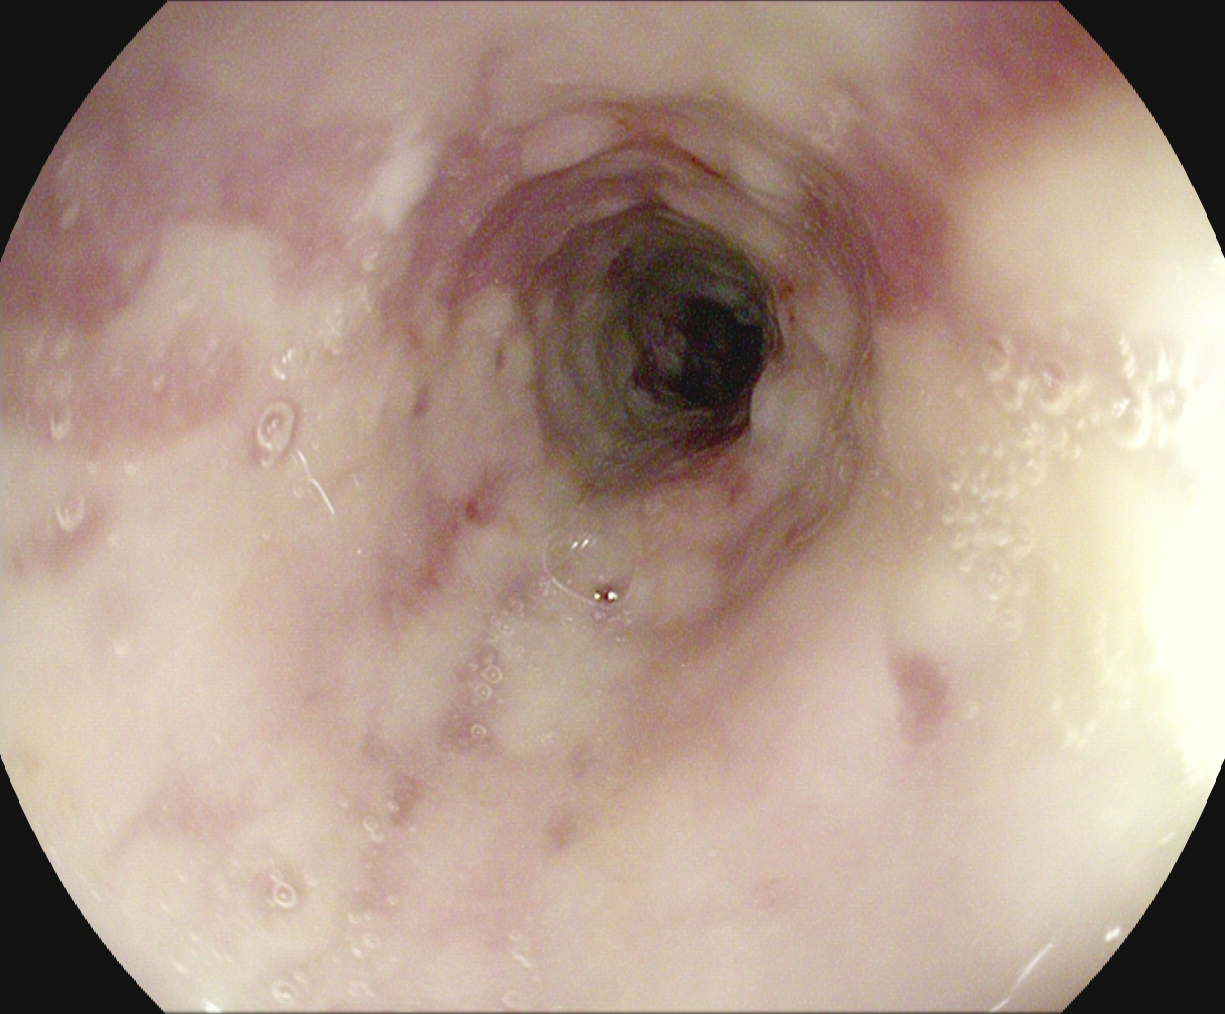Reflux esophagitis, LA grade B–D.